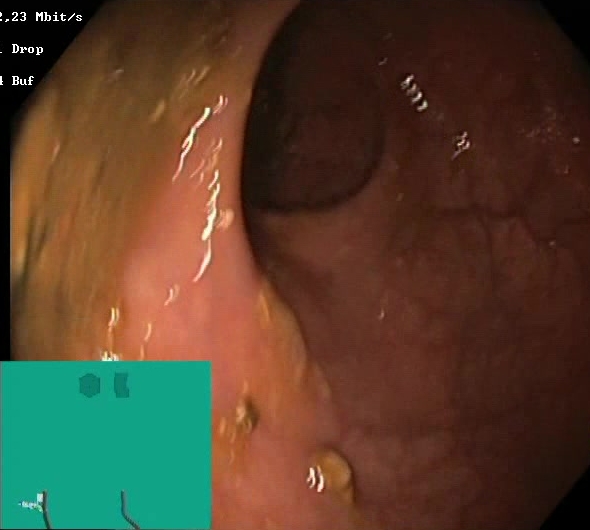Endoscopic frame showing Boston Bowel Preparation Scale score 0–1 (inadequate preparation).